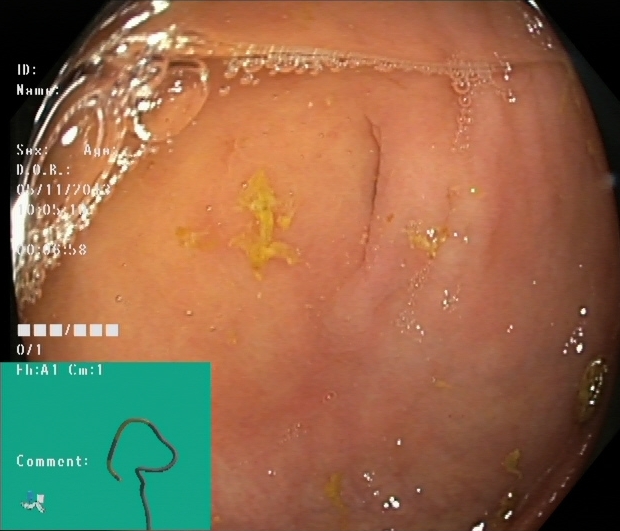Cecum.